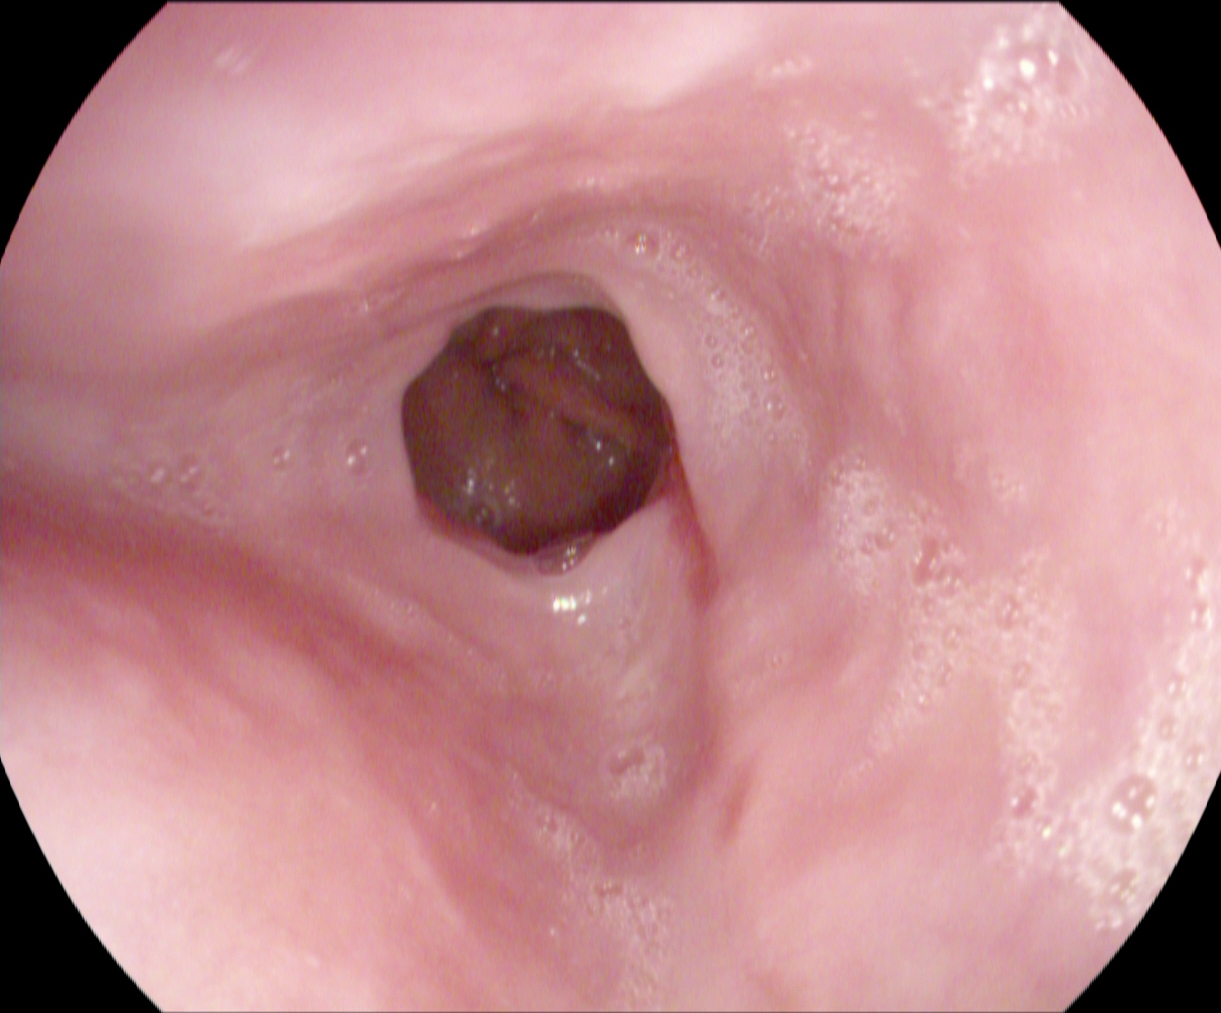Esophagogastroduodenoscopy image showing reflux esophagitis, Los Angeles grade A.